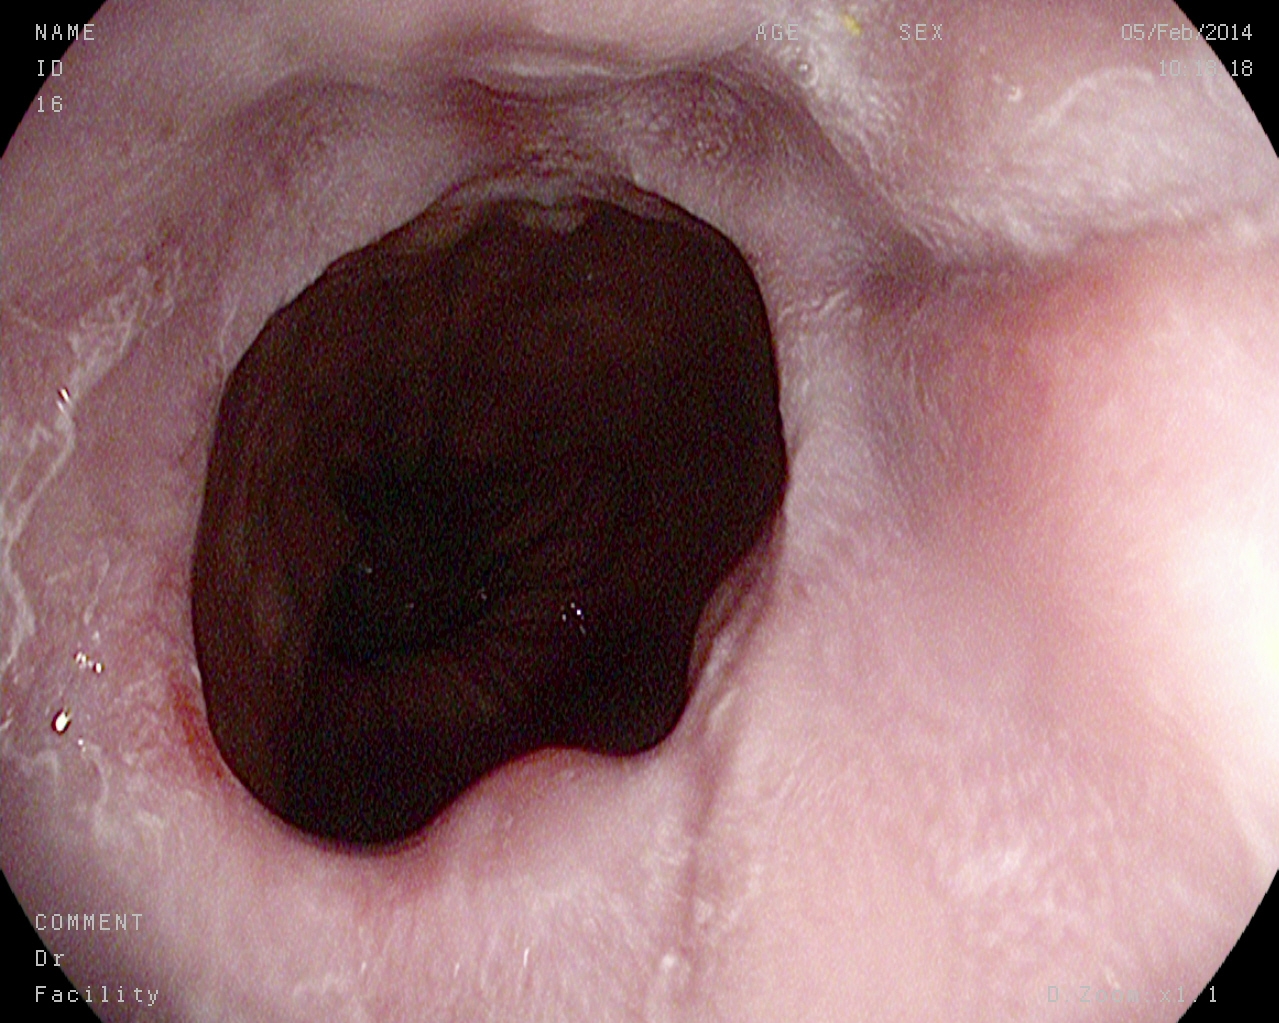{"modality": "upper-GI endoscopy", "tract": "upper GI tract", "category": "pathological finding", "finding": "reflux esophagitis, LA grade A"}